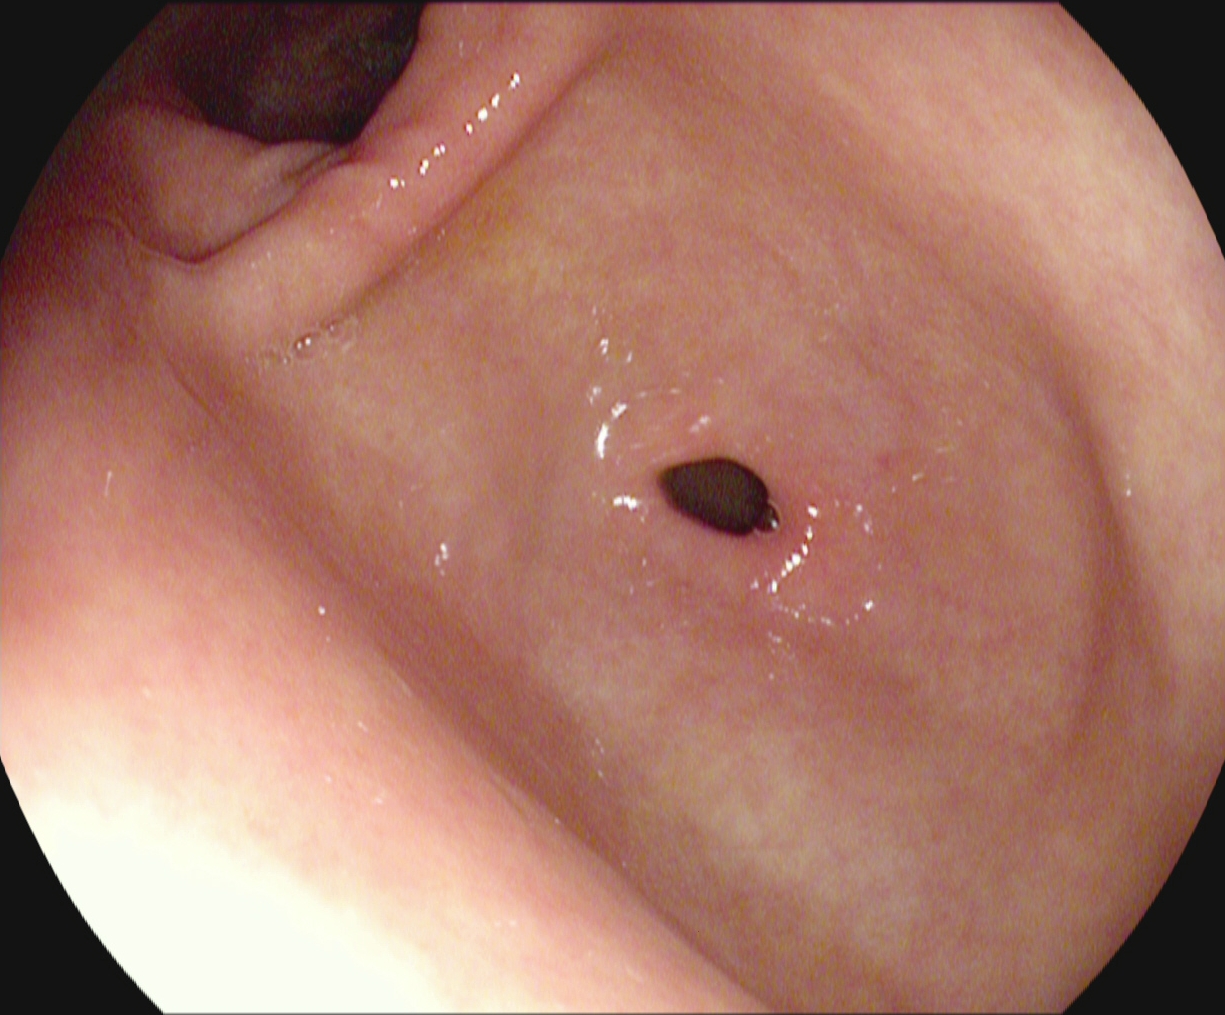modality: upper-GI endoscopy
finding: pylorus